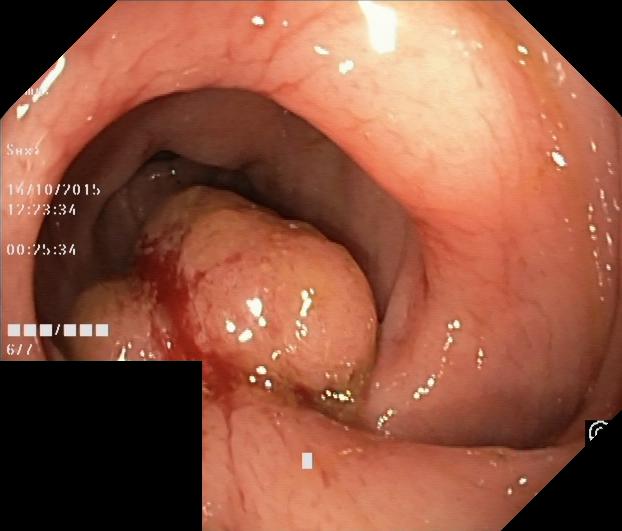This endoscopic image shows colorectal polyp(s).